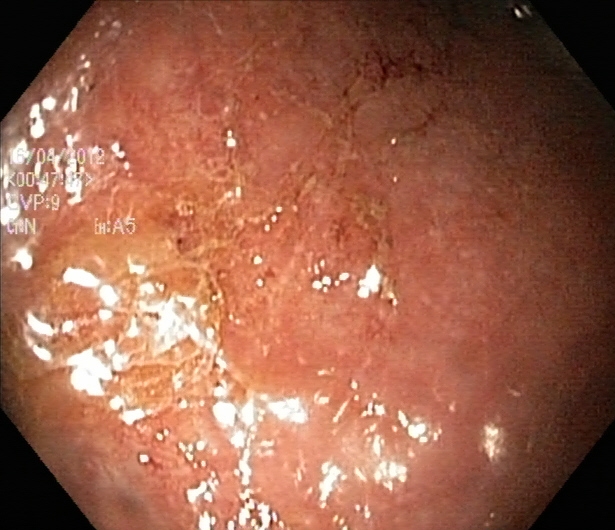modality: lower gastrointestinal endoscopy
tract: lower GI tract
finding: UC, Mayo endoscopic subscore 2